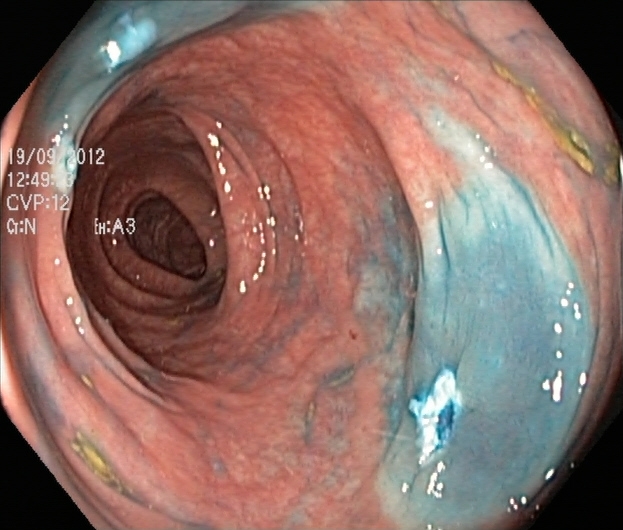PROCEDURE: Lower gastrointestinal endoscopy.
FINDINGS: Dyed resection margins (post-polypectomy).